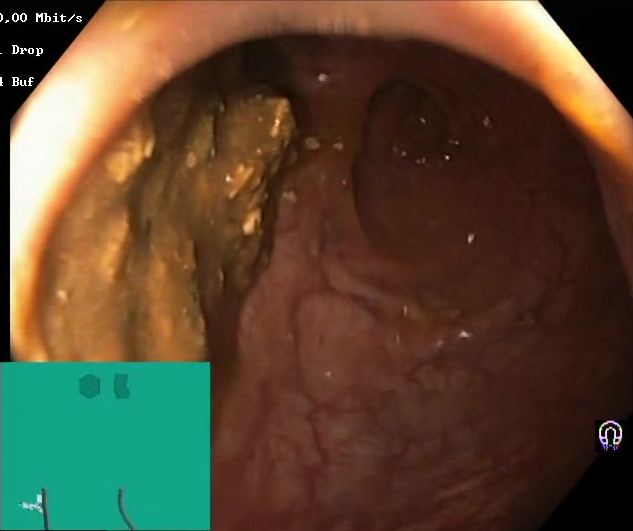Boston Bowel Preparation Scale score 0–1 (inadequate preparation).